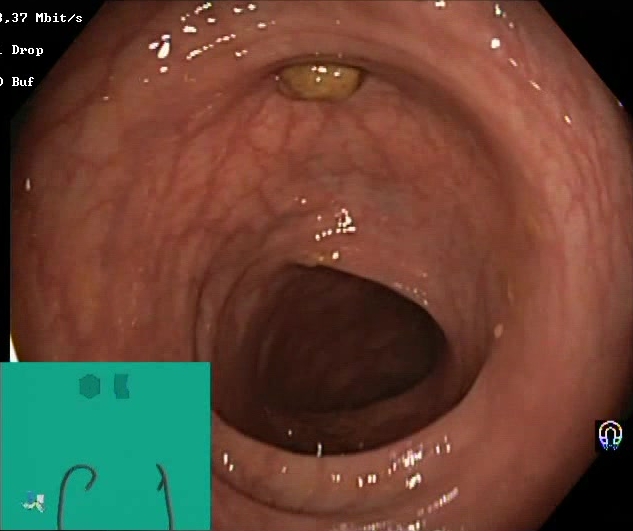Impacted stool.